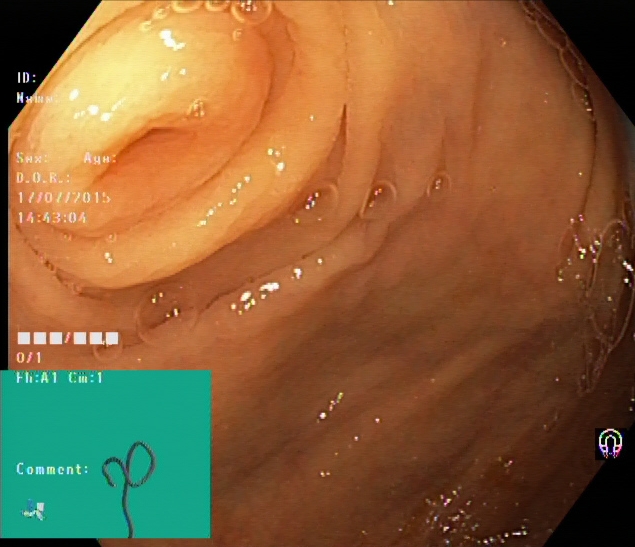This endoscopy frame of the lower GI tract shows cecum.